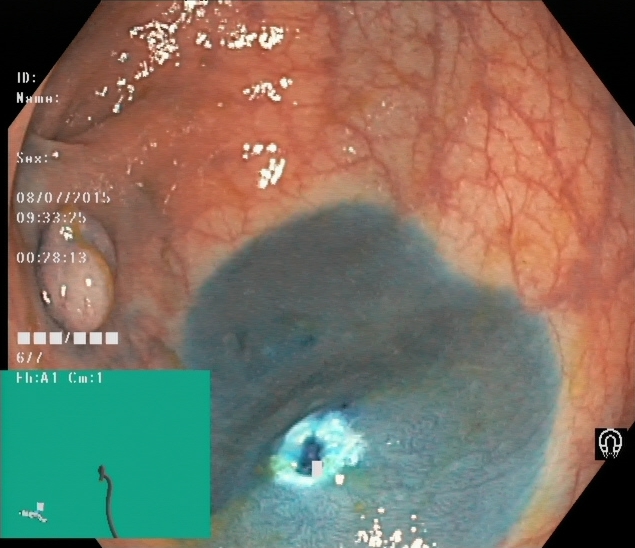Lower-GI endoscopy image of the lower GI tract showing dyed resection margins (post-polypectomy).